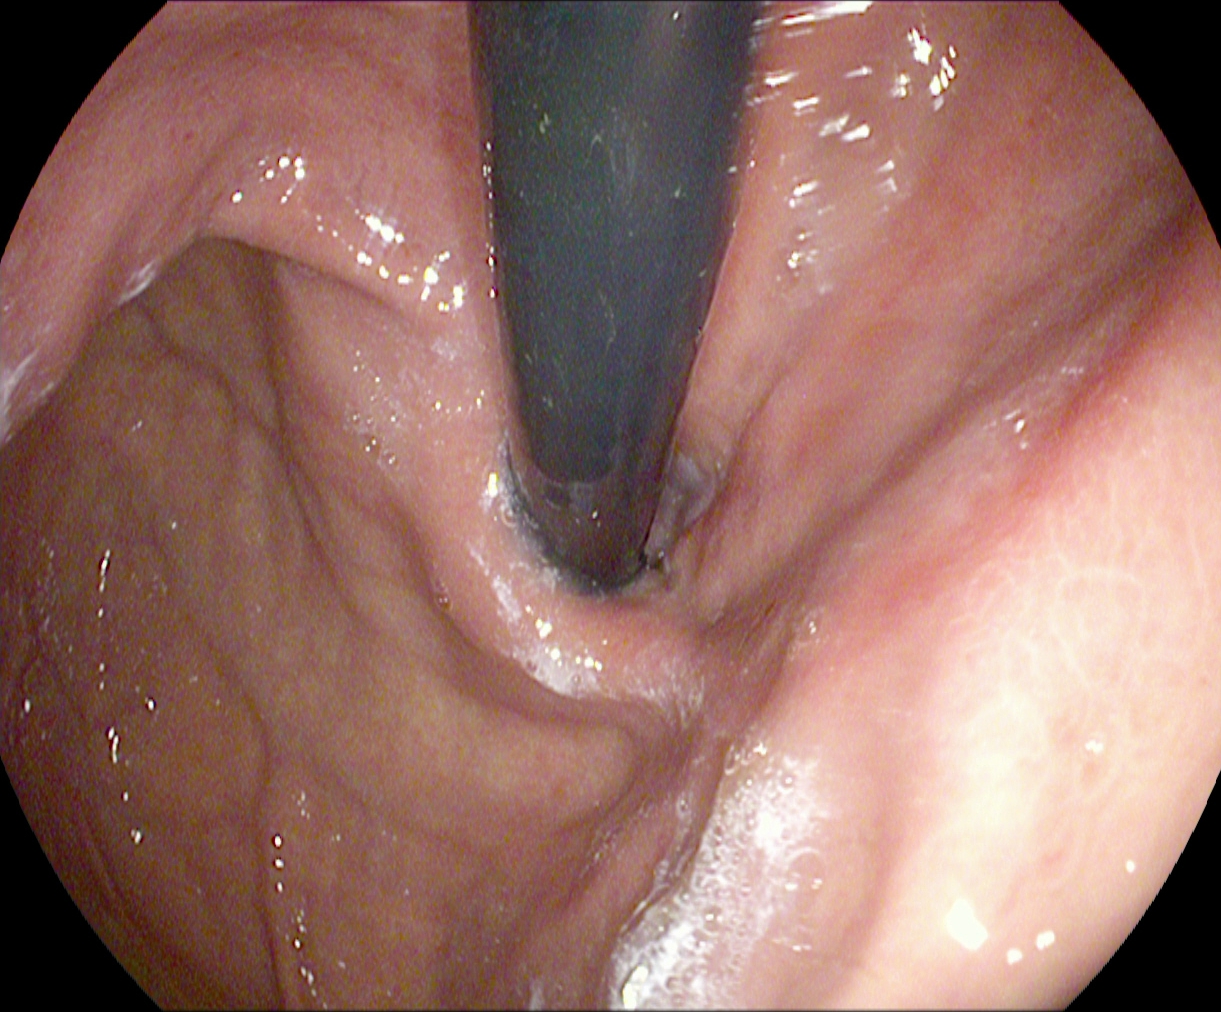This endoscopy frame of the upper GI tract shows stomach in retroflexion.